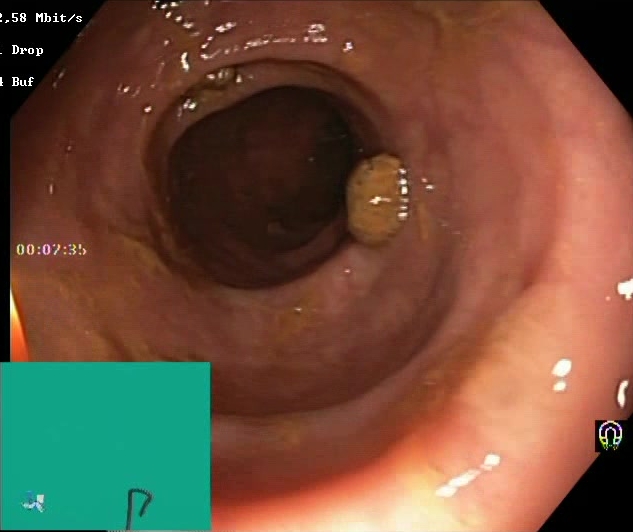Colonoscopy. Finding: BBPS score 2–3 (adequate preparation).